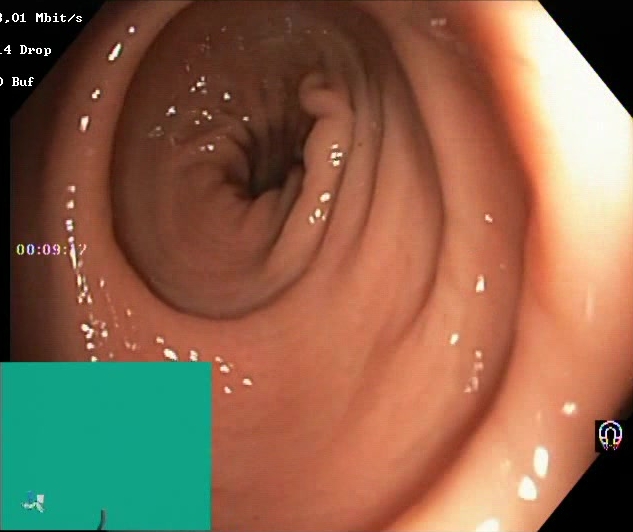{"modality": "colonoscopy", "tract": "lower GI tract", "finding": "Boston Bowel Preparation Scale score 2\u20133 (adequate preparation)"}